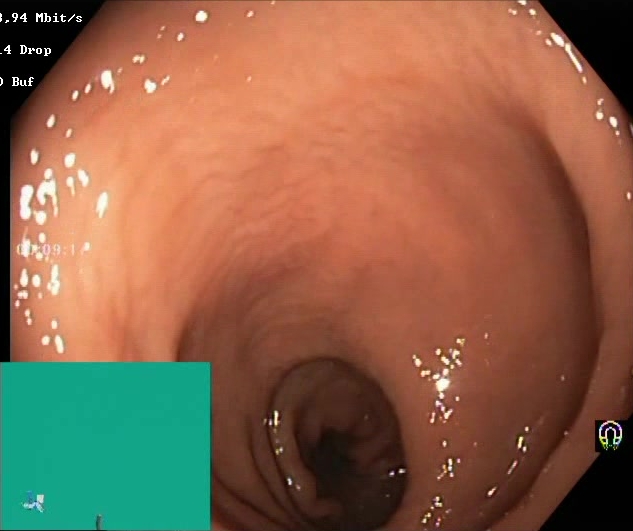PROCEDURE: Colonoscopy.
FINDINGS: Boston Bowel Preparation Scale score 2–3 (adequate preparation).